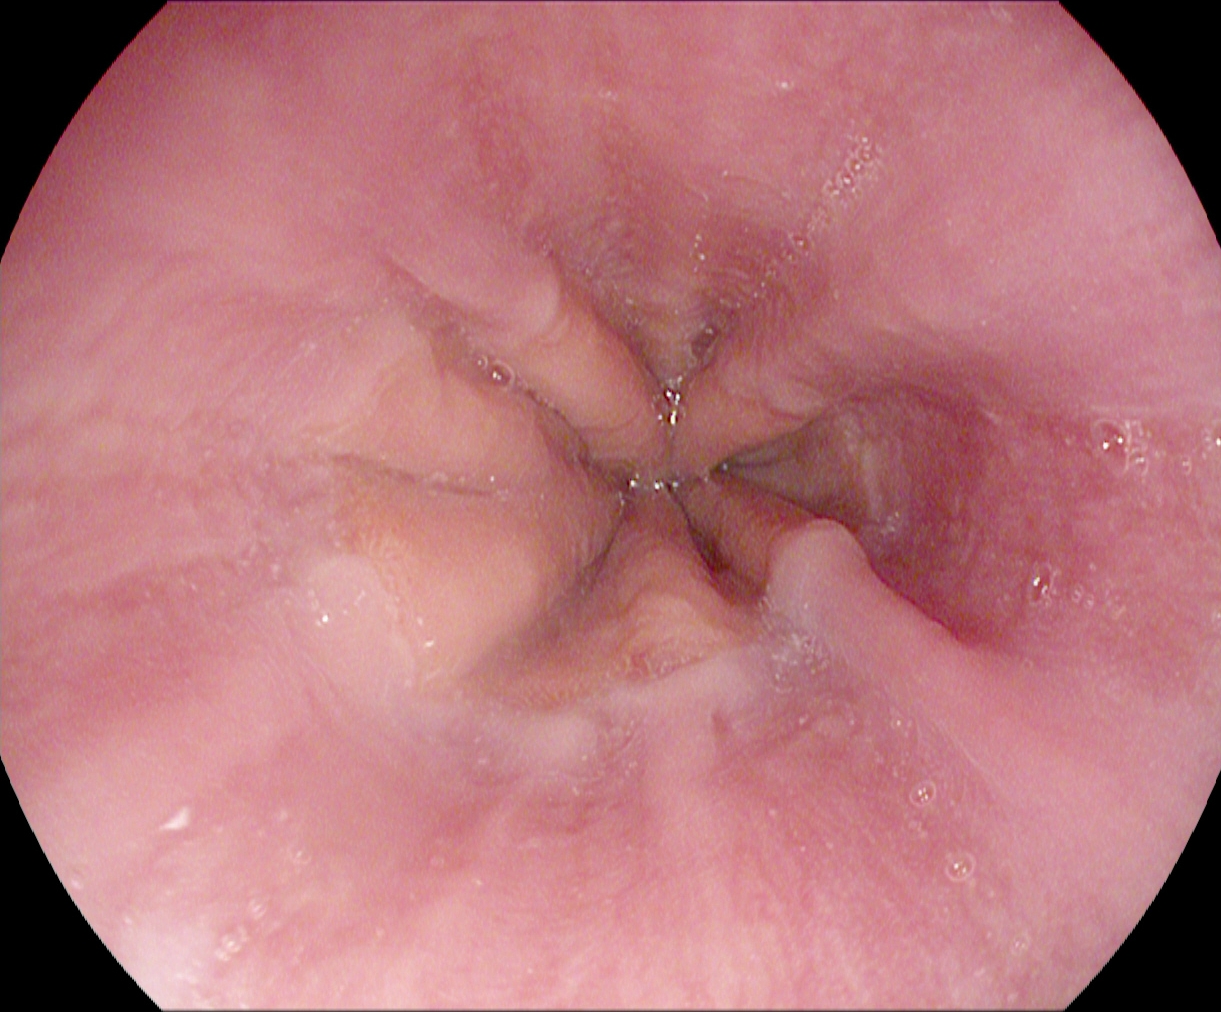Gastroscopy. Tract: upper GI tract. Finding: Z-line (gastroesophageal junction).